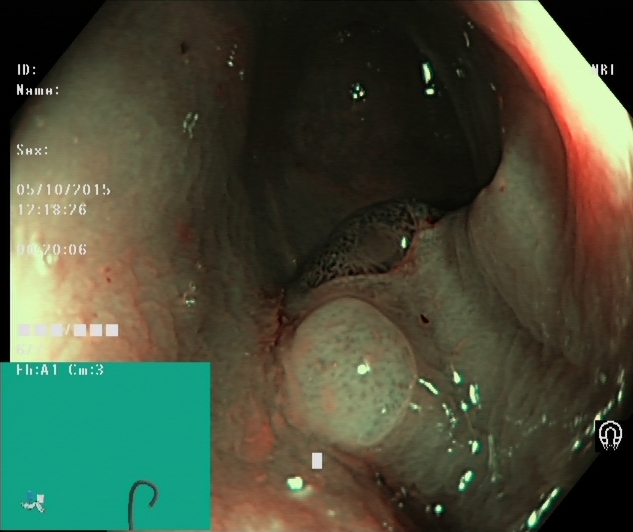Lower gastrointestinal endoscopy — dyed and lifted polyp (pre-resection).